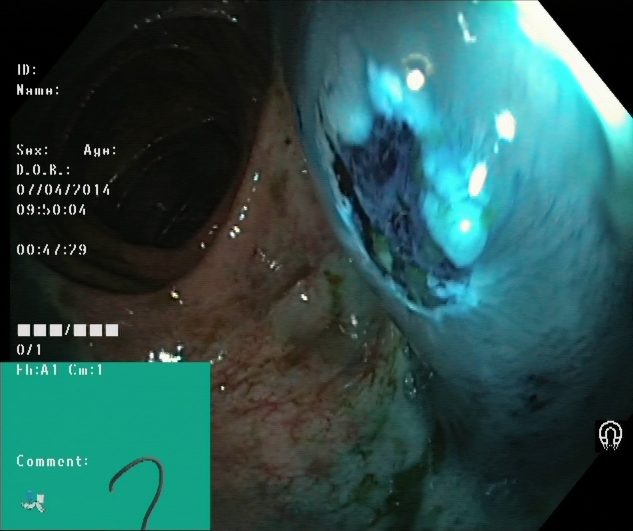Colonoscopy. Tract: lower GI tract. Therapeutic intervention. Finding: dyed resection margins (post-polypectomy).